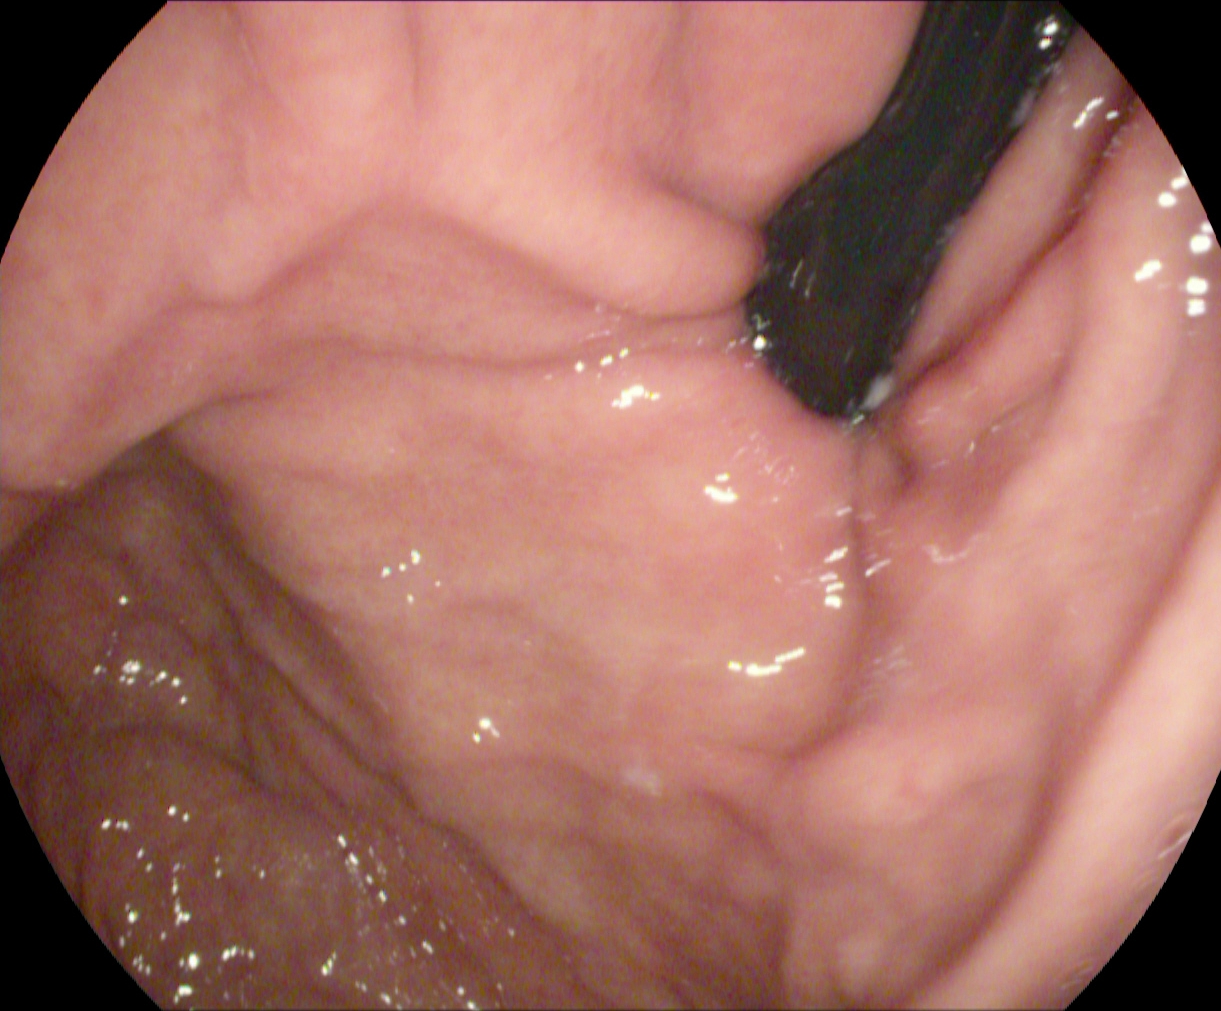PROCEDURE: Gastroscopy.
CATEGORY: Anatomical landmark.
FINDINGS: Stomach in retroflexion.